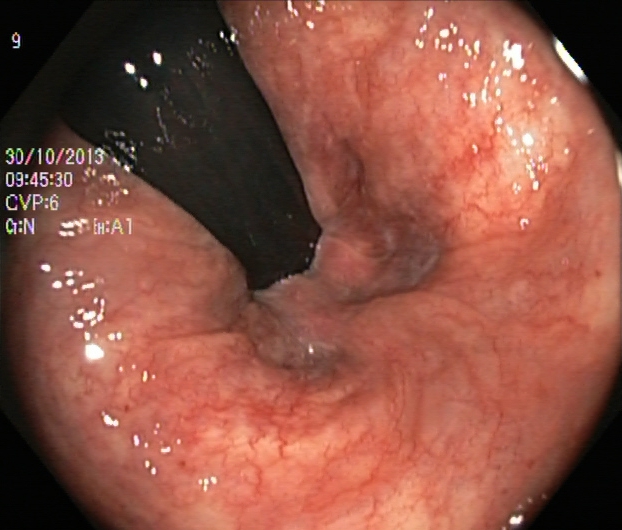Lower gastrointestinal endoscopy — rectum in retroflexion.